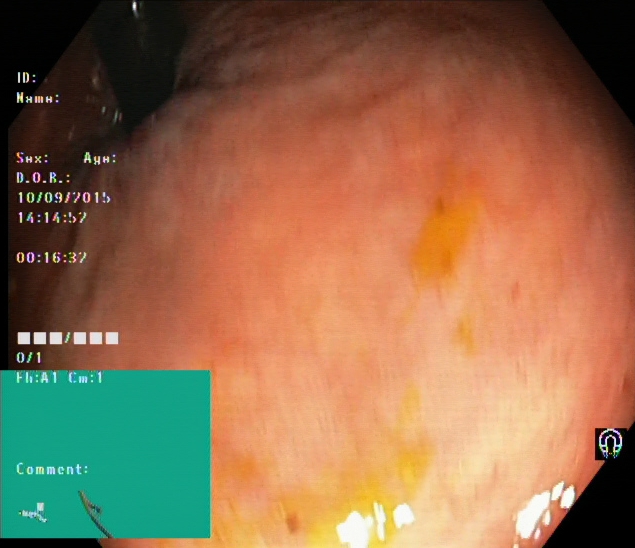PROCEDURE: Colonoscopy.
CATEGORY: Anatomical landmark.
FINDINGS: Rectum in retroflexion.